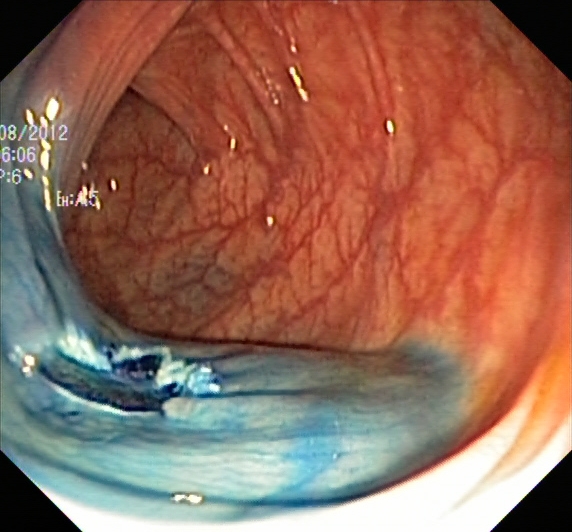This endoscopy frame of the lower GI tract shows dyed resection margins (post-polypectomy).